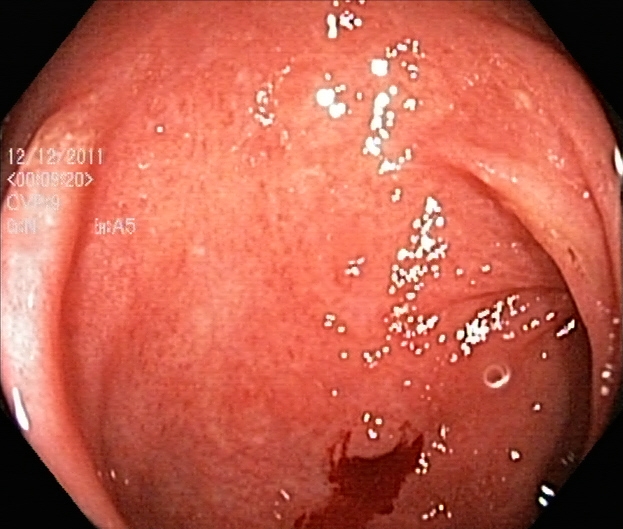Ulcerative colitis, Mayo endoscopic subscore 2.